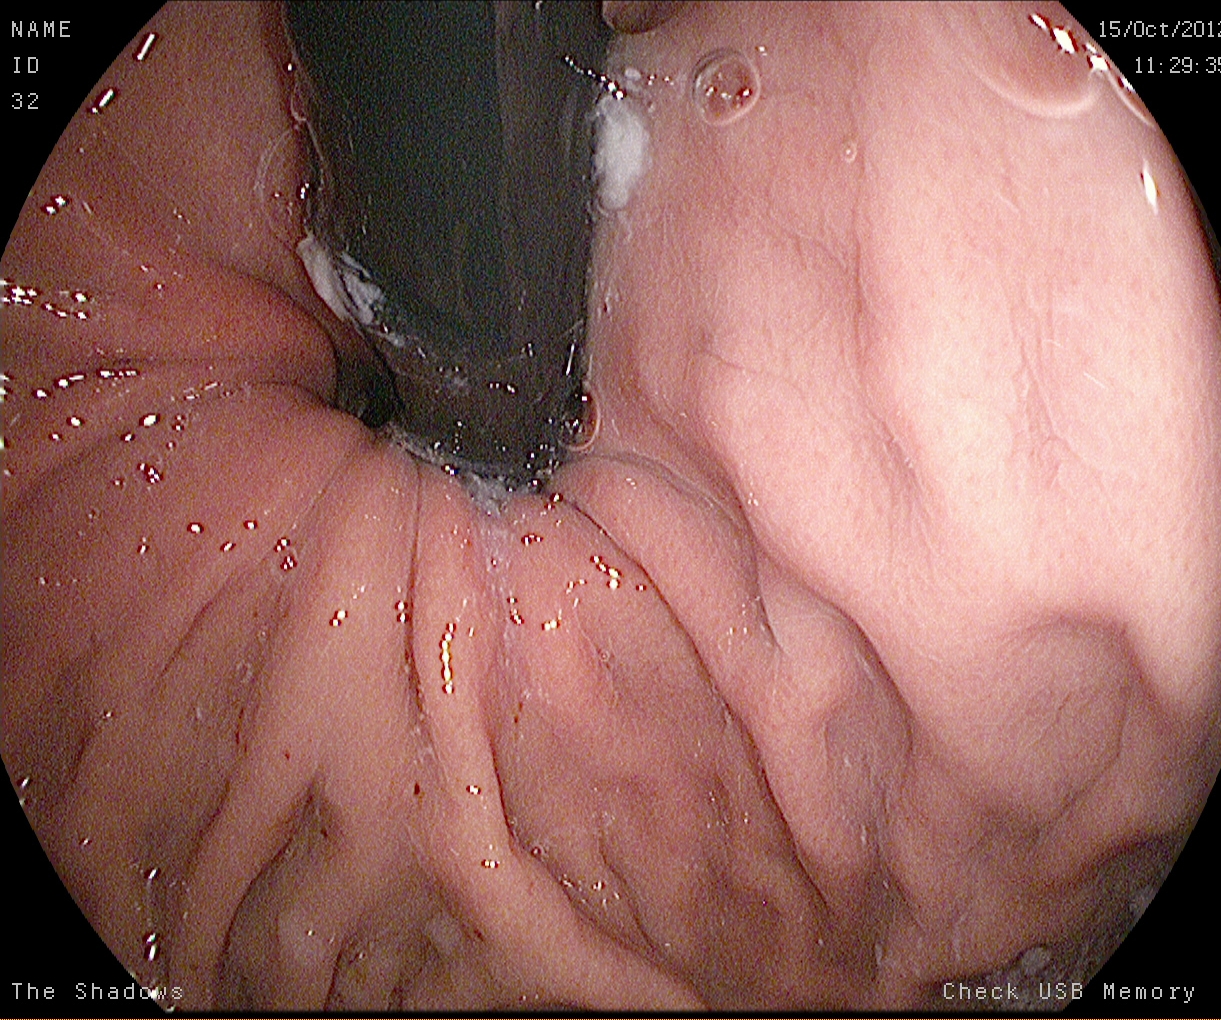This endoscopy frame of the upper GI tract shows stomach in retroflexion.